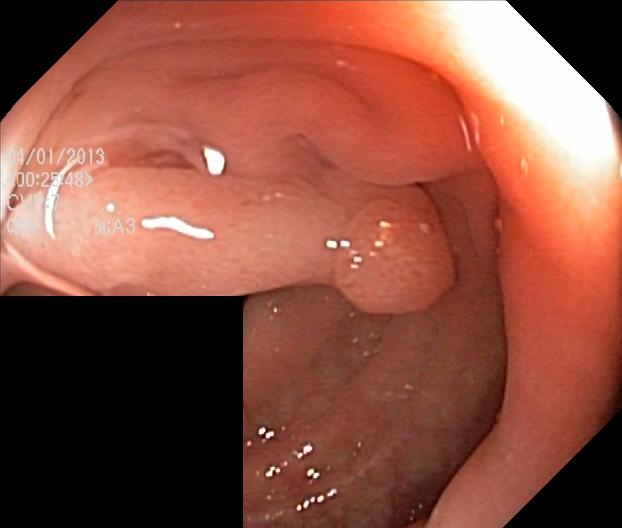PROCEDURE: Lower-GI endoscopy.
FINDINGS: Colorectal polyp(s).